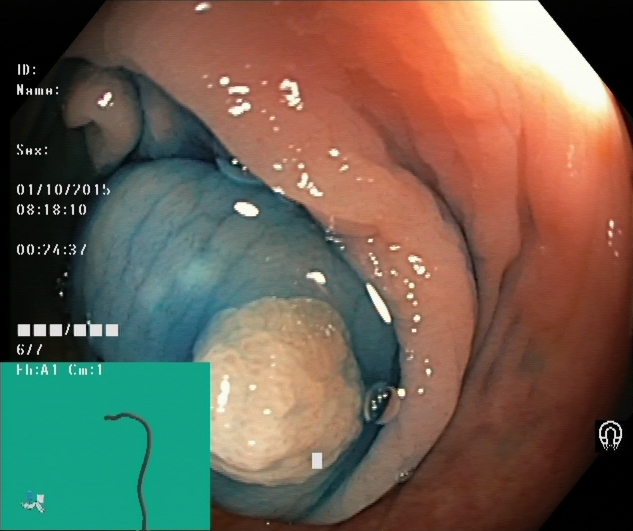Lower-GI endoscopy. Tract: lower GI tract. Finding: dyed and lifted polyp (pre-resection).